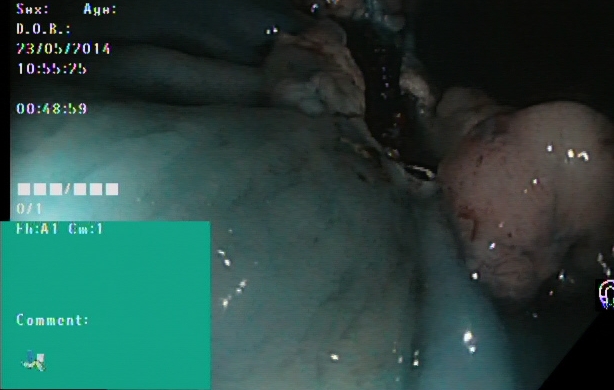Lower-GI endoscopy — dyed resection margins (post-polypectomy).